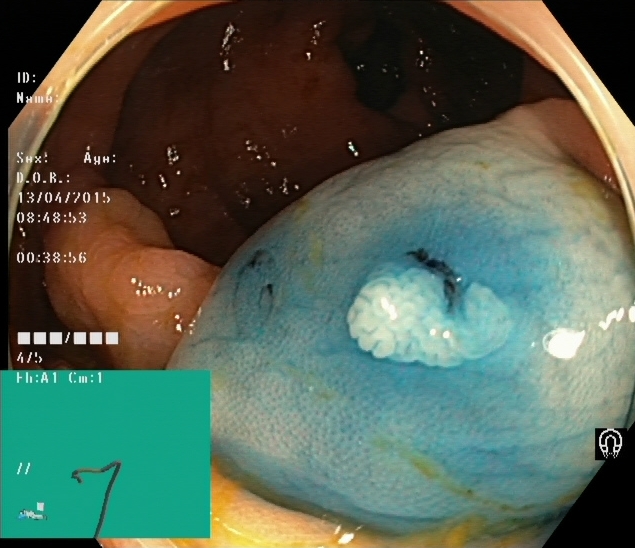modality: lower-GI endoscopy; finding: dyed and lifted polyp (pre-resection)